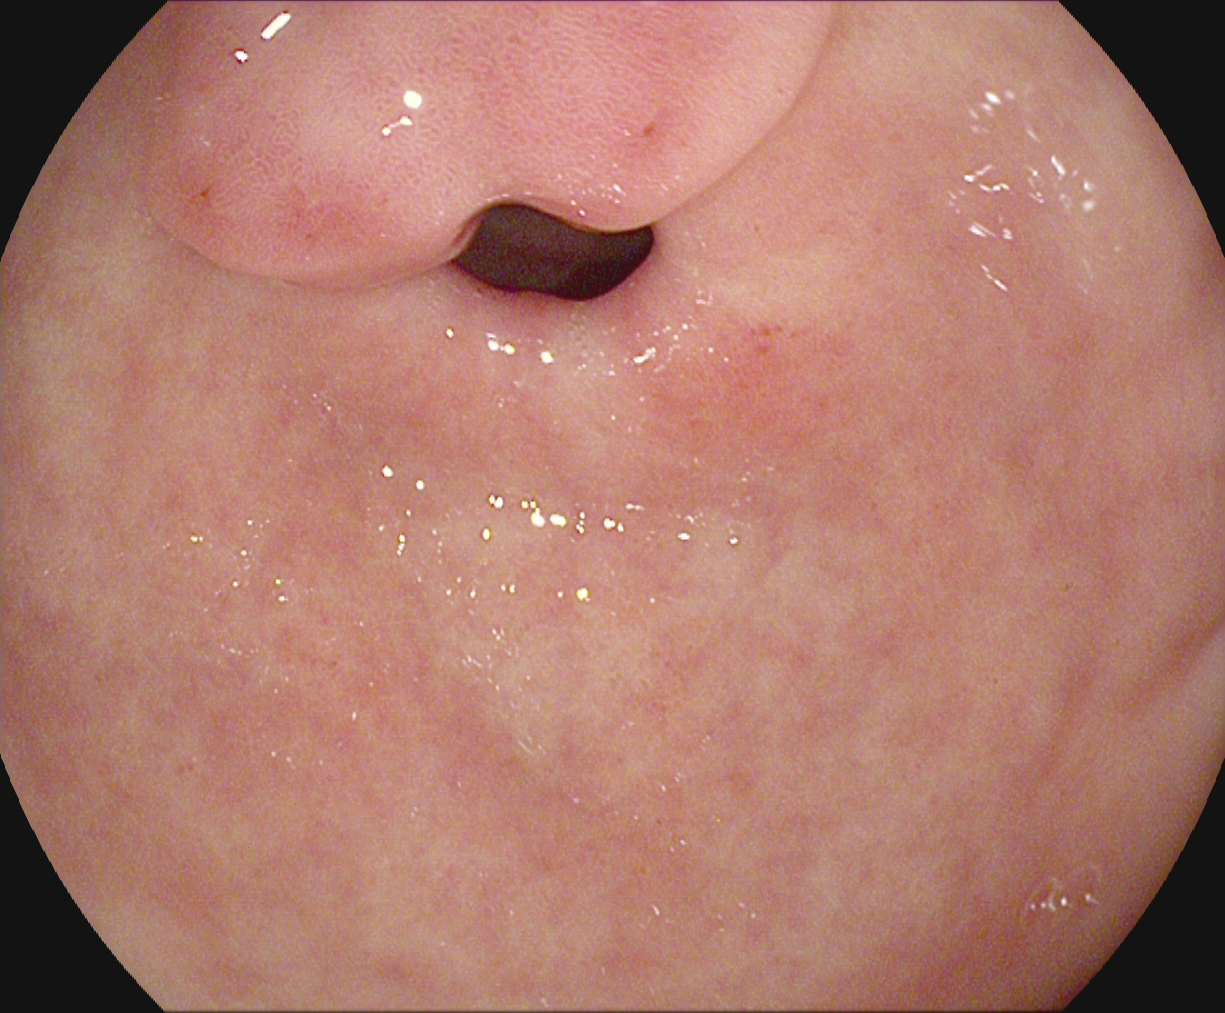modality: upper-GI endoscopy; tract: upper GI tract; finding: pylorus